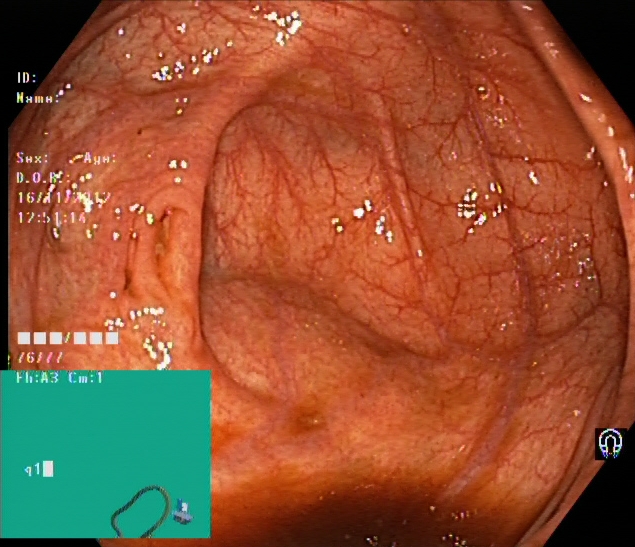Colonoscopy — cecum.